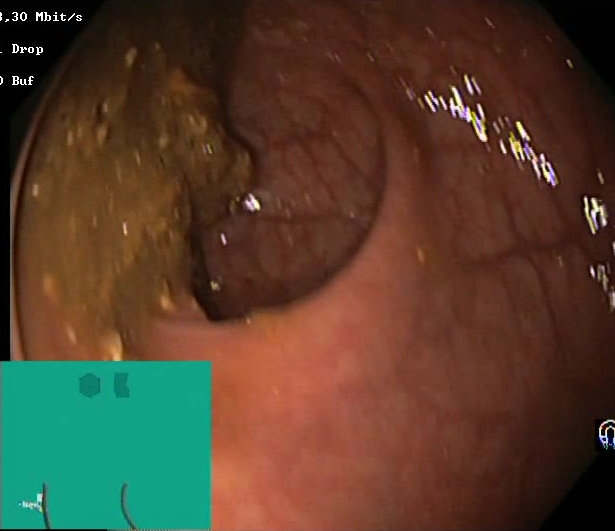Boston Bowel Preparation Scale score 0–1 (inadequate preparation).